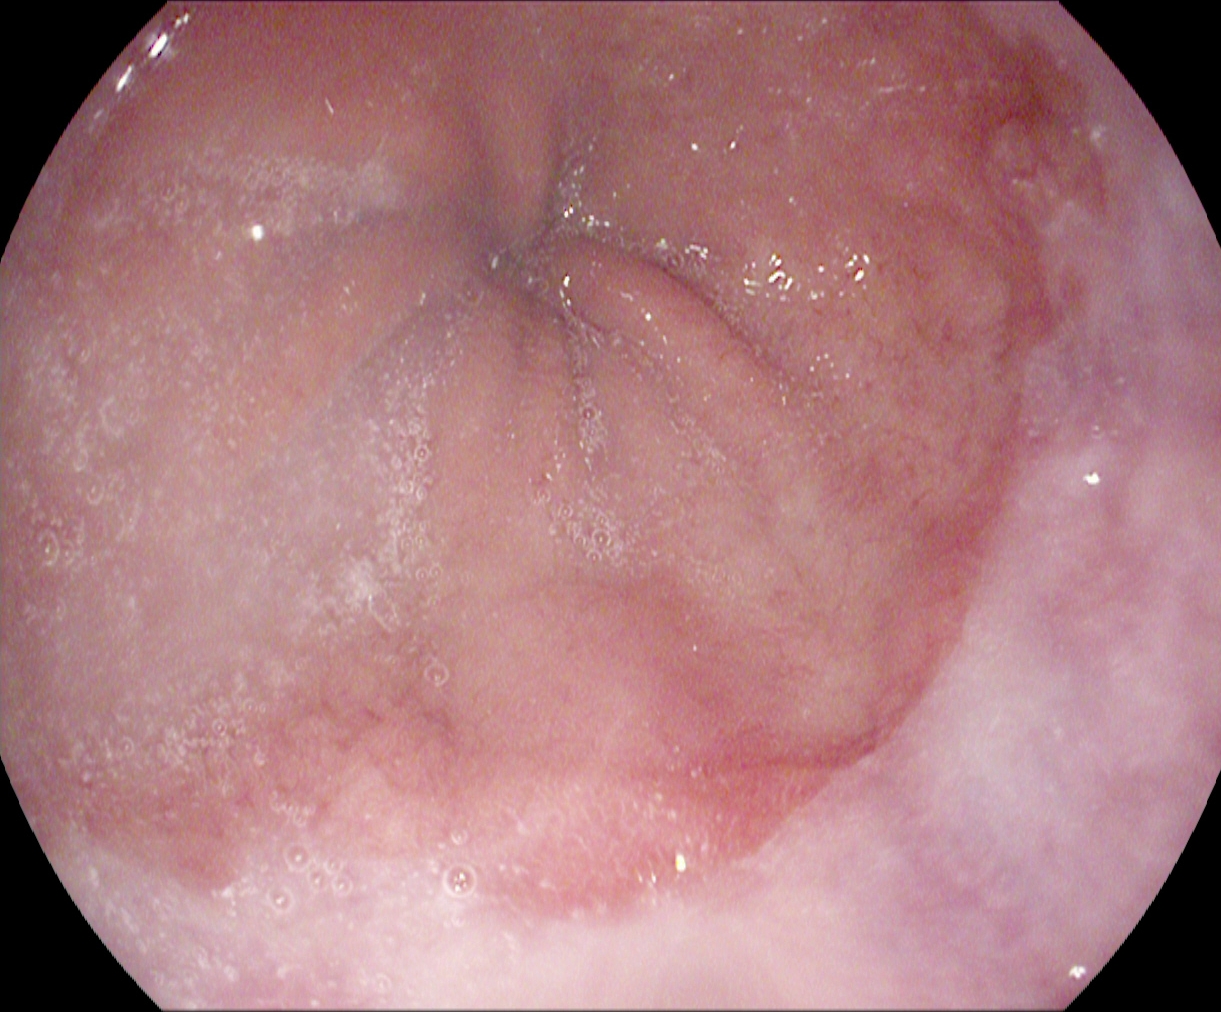Z-line (gastroesophageal junction).